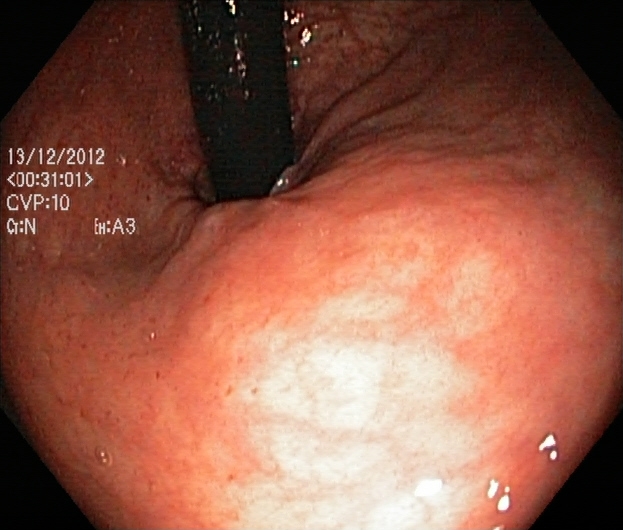modality: lower-GI endoscopy; tract: lower GI tract; finding: rectum in retroflexion